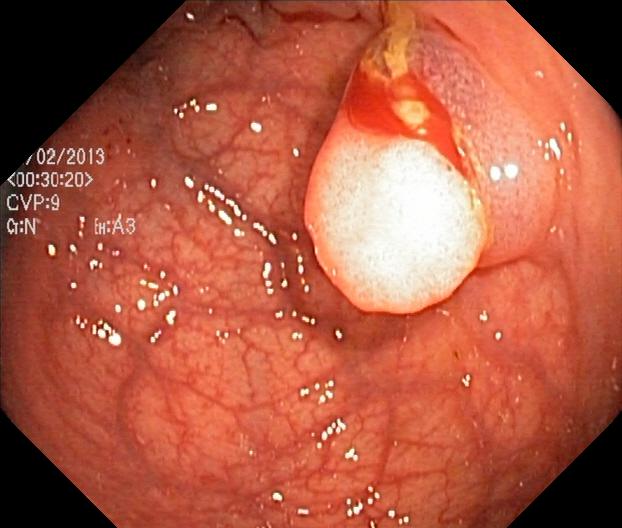Colorectal polyp(s).